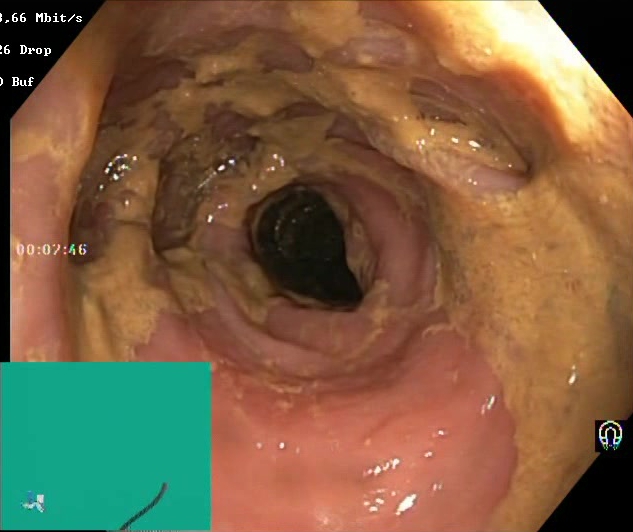PROCEDURE: Lower-GI endoscopy.
FINDINGS: Boston Bowel Preparation Scale score 0–1 (inadequate preparation).